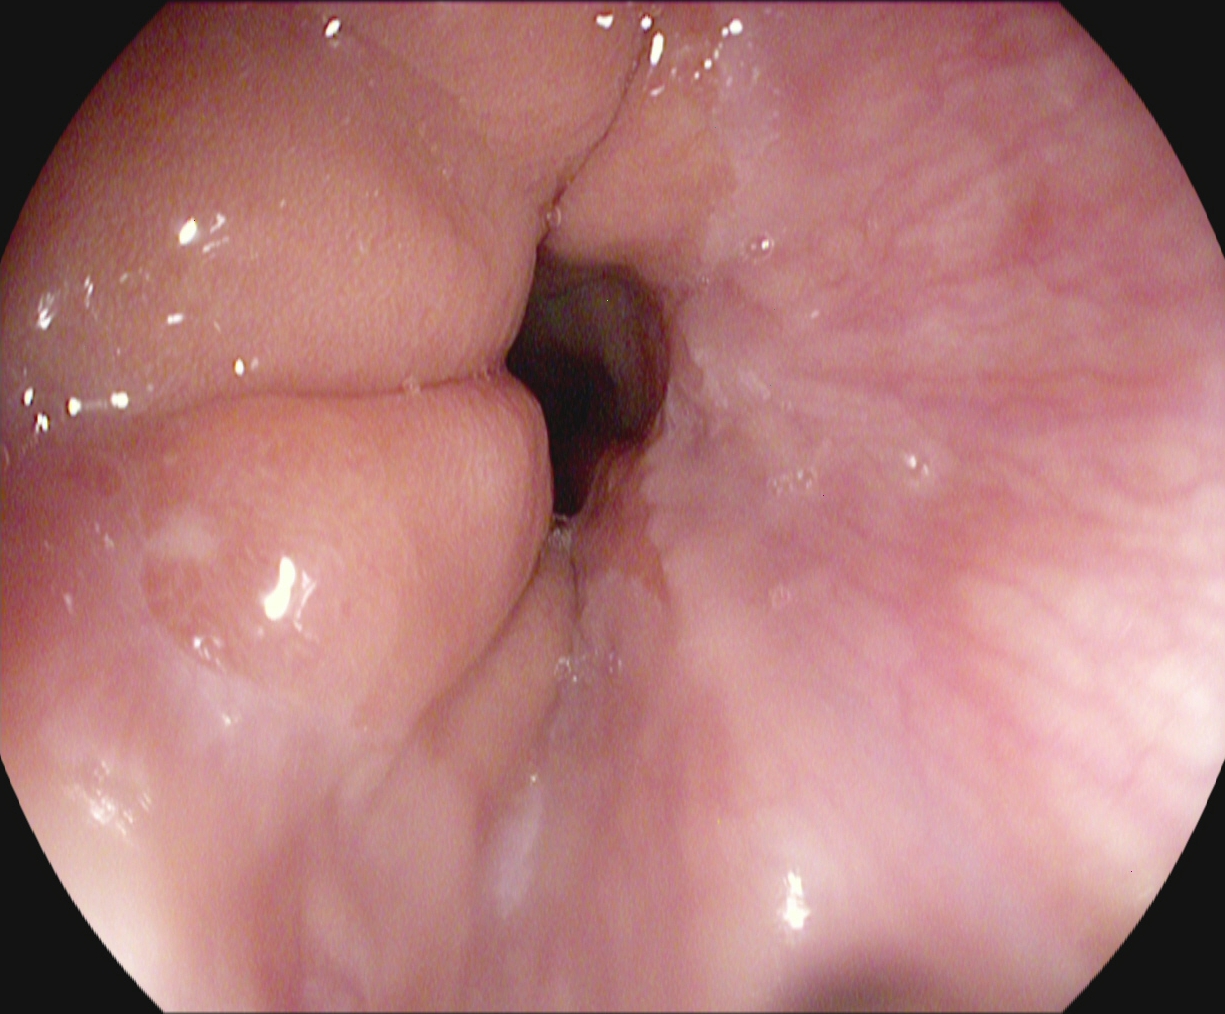EGD — Z-line (gastroesophageal junction).